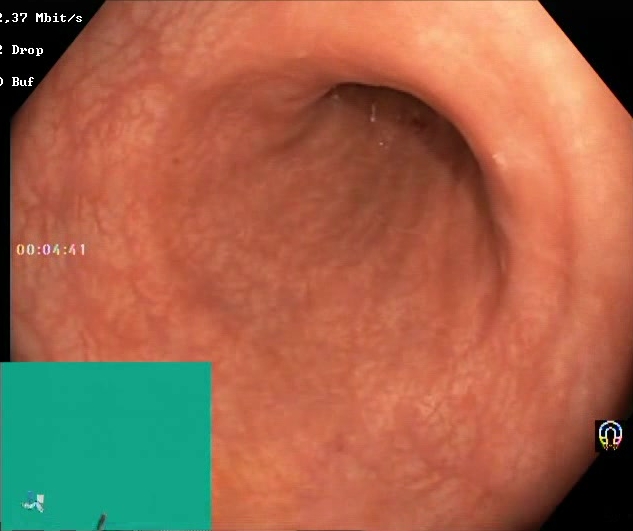Lower gastrointestinal endoscopy — Boston Bowel Preparation Scale score 2–3 (adequate preparation).